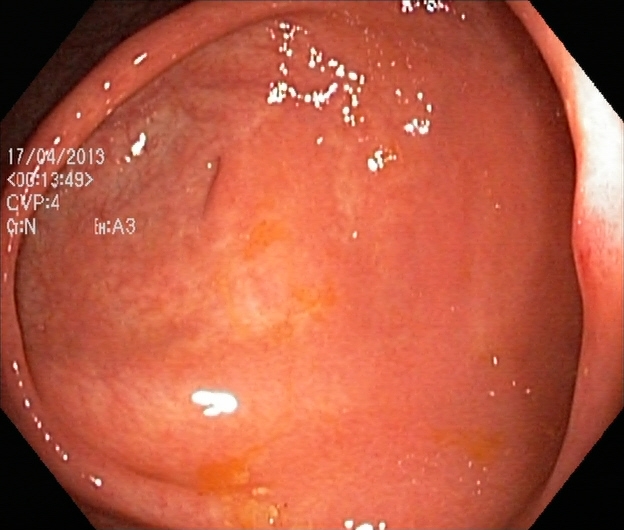{"modality": "lower-GI endoscopy", "tract": "lower GI tract", "finding": "UC, Mayo endoscopic subscore 1"}